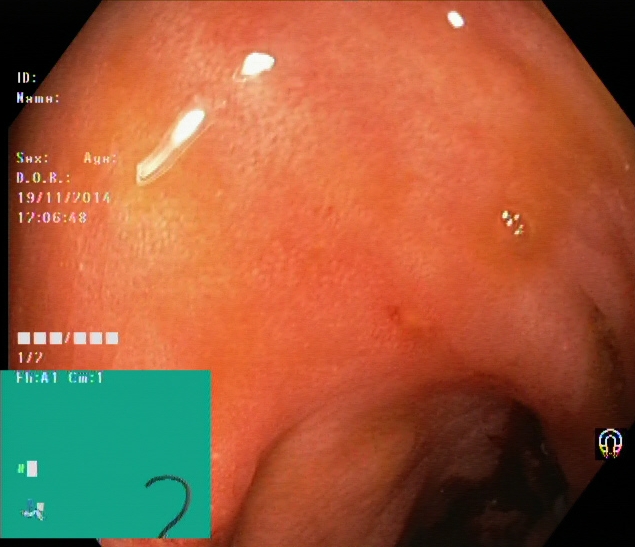PROCEDURE: Lower-GI endoscopy.
CATEGORY: Pathological finding.
FINDINGS: Ulcerative colitis, Mayo endoscopic subscore 2.